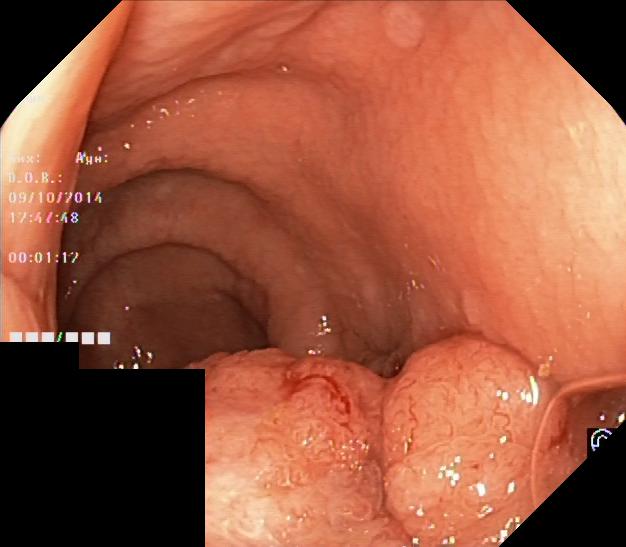modality: colonoscopy; tract: lower GI tract; finding: colorectal polyp(s)